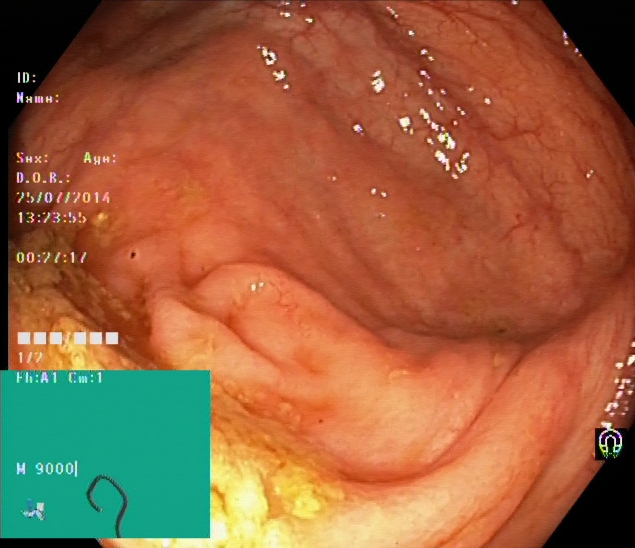Lower gastrointestinal endoscopy — cecum.